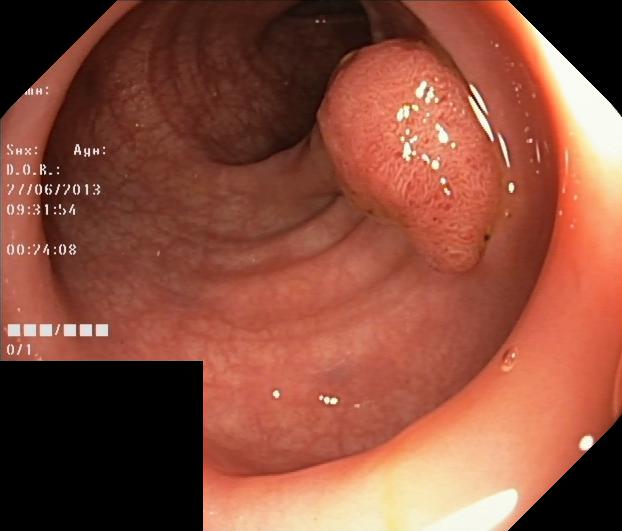PROCEDURE: Lower gastrointestinal endoscopy.
FINDINGS: Colorectal polyp(s).